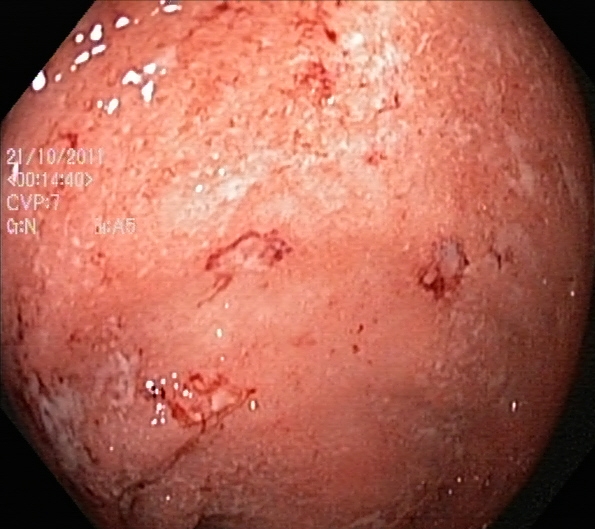UC, Mayo endoscopic subscore 2.